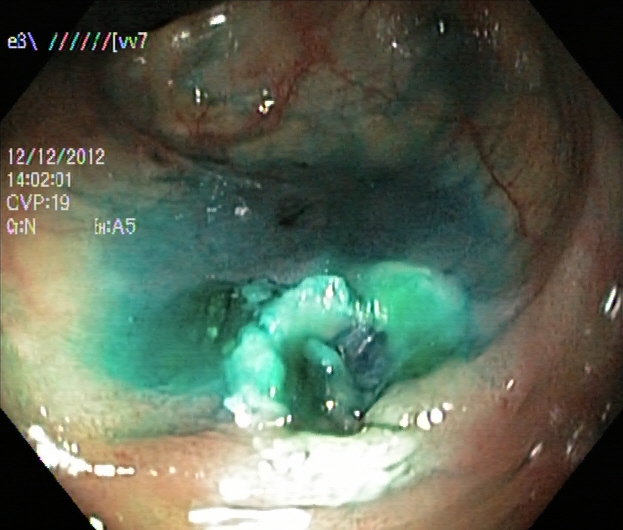modality: lower gastrointestinal endoscopy; tract: lower GI tract; category: therapeutic intervention; finding: dyed resection margins (post-polypectomy)